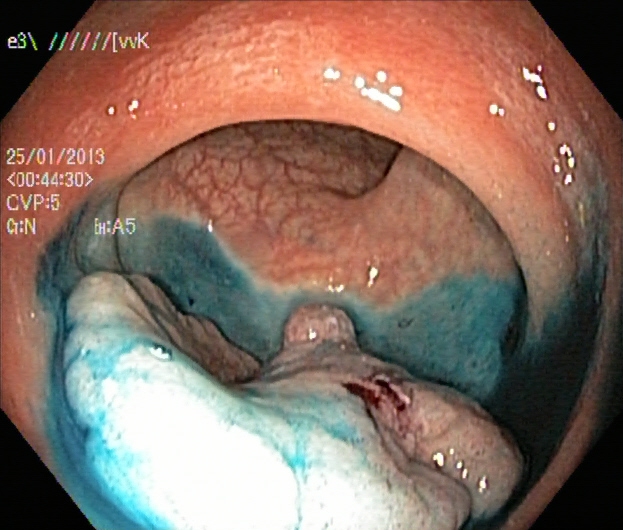Lower gastrointestinal endoscopy image of the lower GI tract showing dyed and lifted polyp (pre-resection).